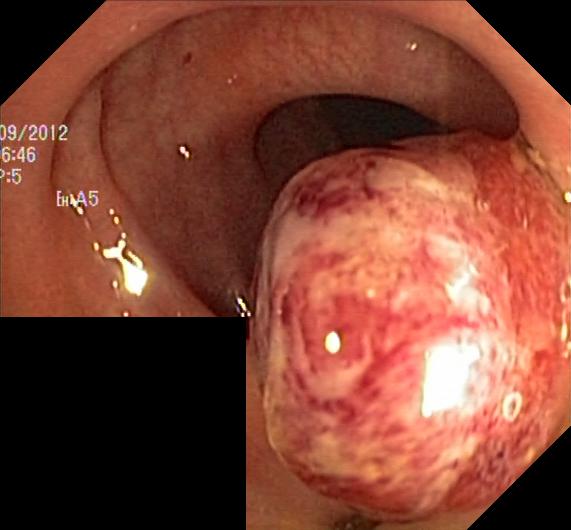Colonoscopy — colorectal polyp(s).